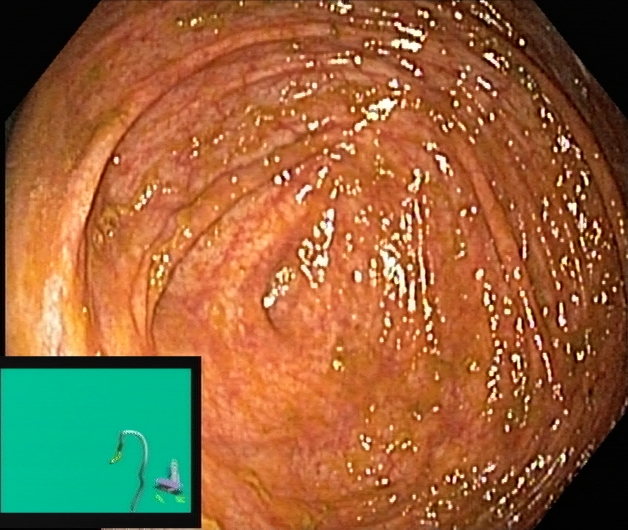GI endoscopy image showing cecum.